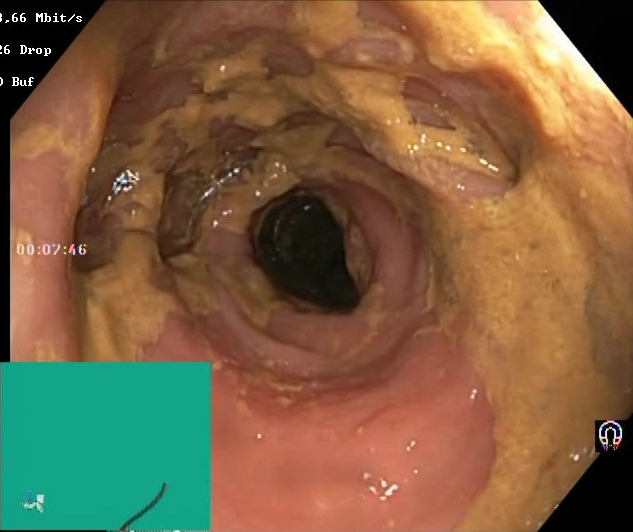Colonoscopy. Tract: lower GI tract. Finding: Boston Bowel Preparation Scale score 0–1 (inadequate preparation).